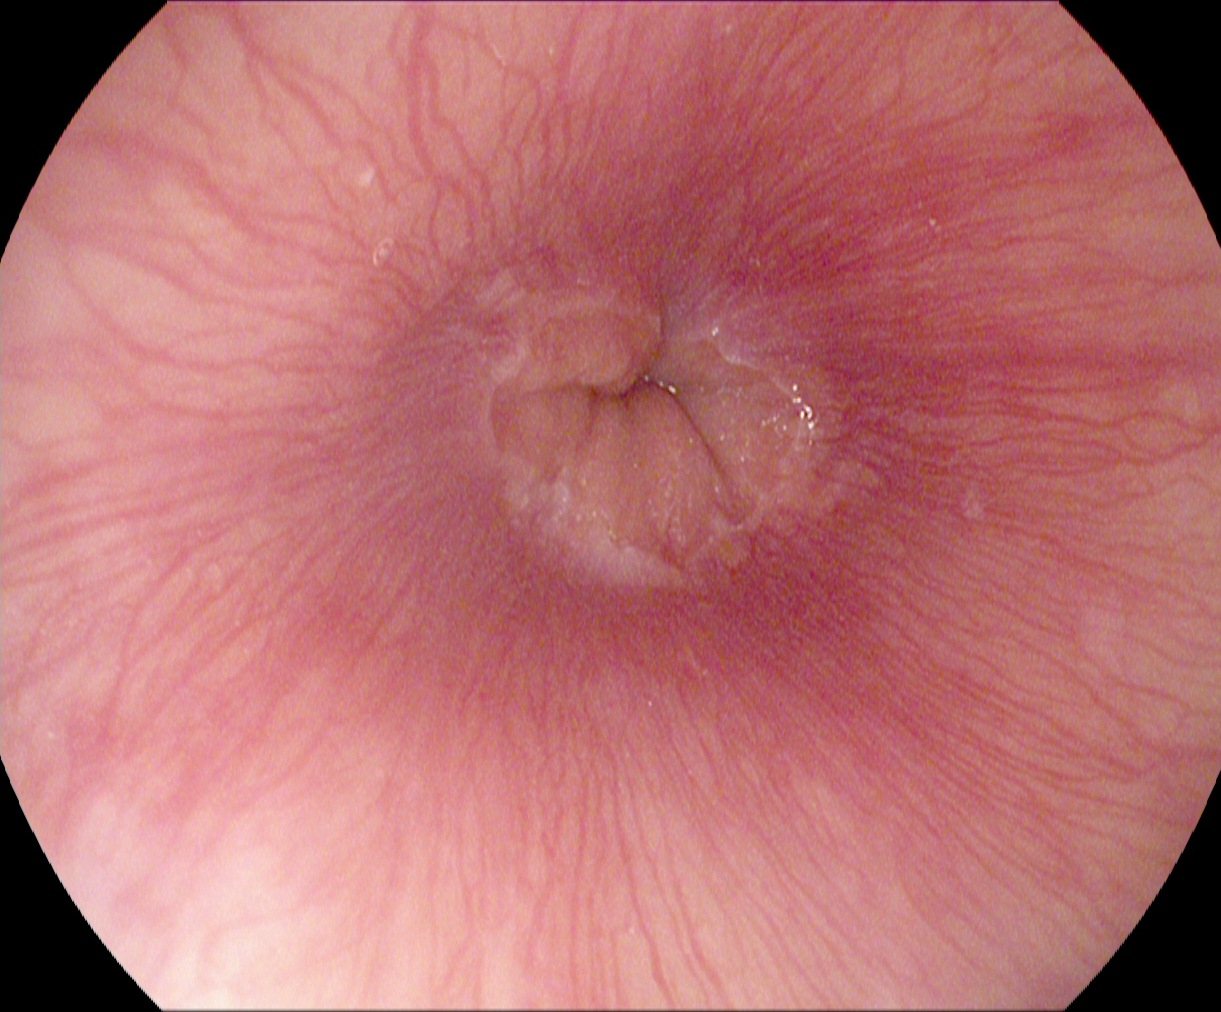This endoscopic image shows Z-line (gastroesophageal junction).